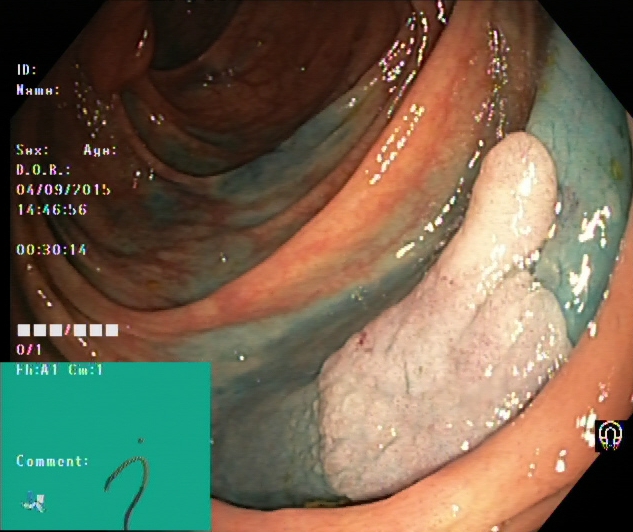PROCEDURE: Lower-GI endoscopy.
CATEGORY: Therapeutic intervention.
FINDINGS: Dyed and lifted polyp (pre-resection).